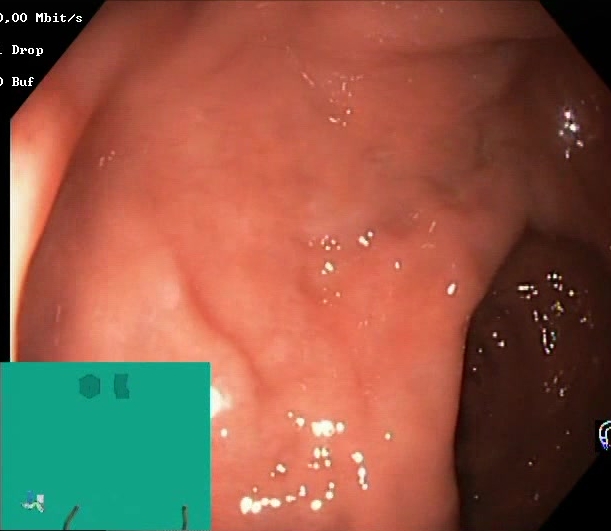{"modality": "colonoscopy", "finding": "Boston Bowel Preparation Scale score 2\u20133 (adequate preparation)"}